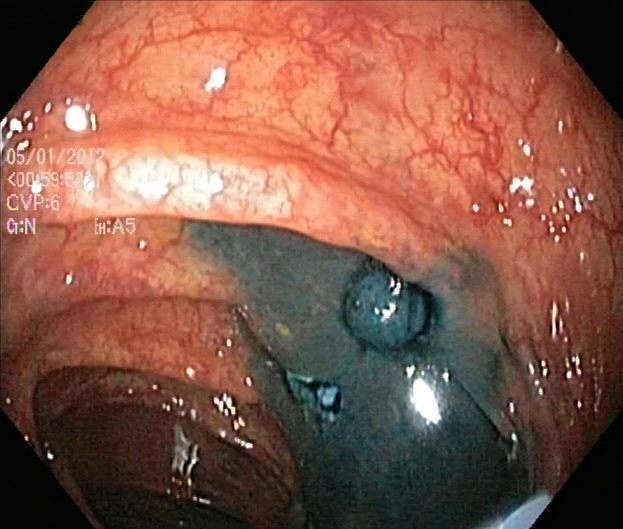This endoscopic image shows dyed and lifted polyp (pre-resection).